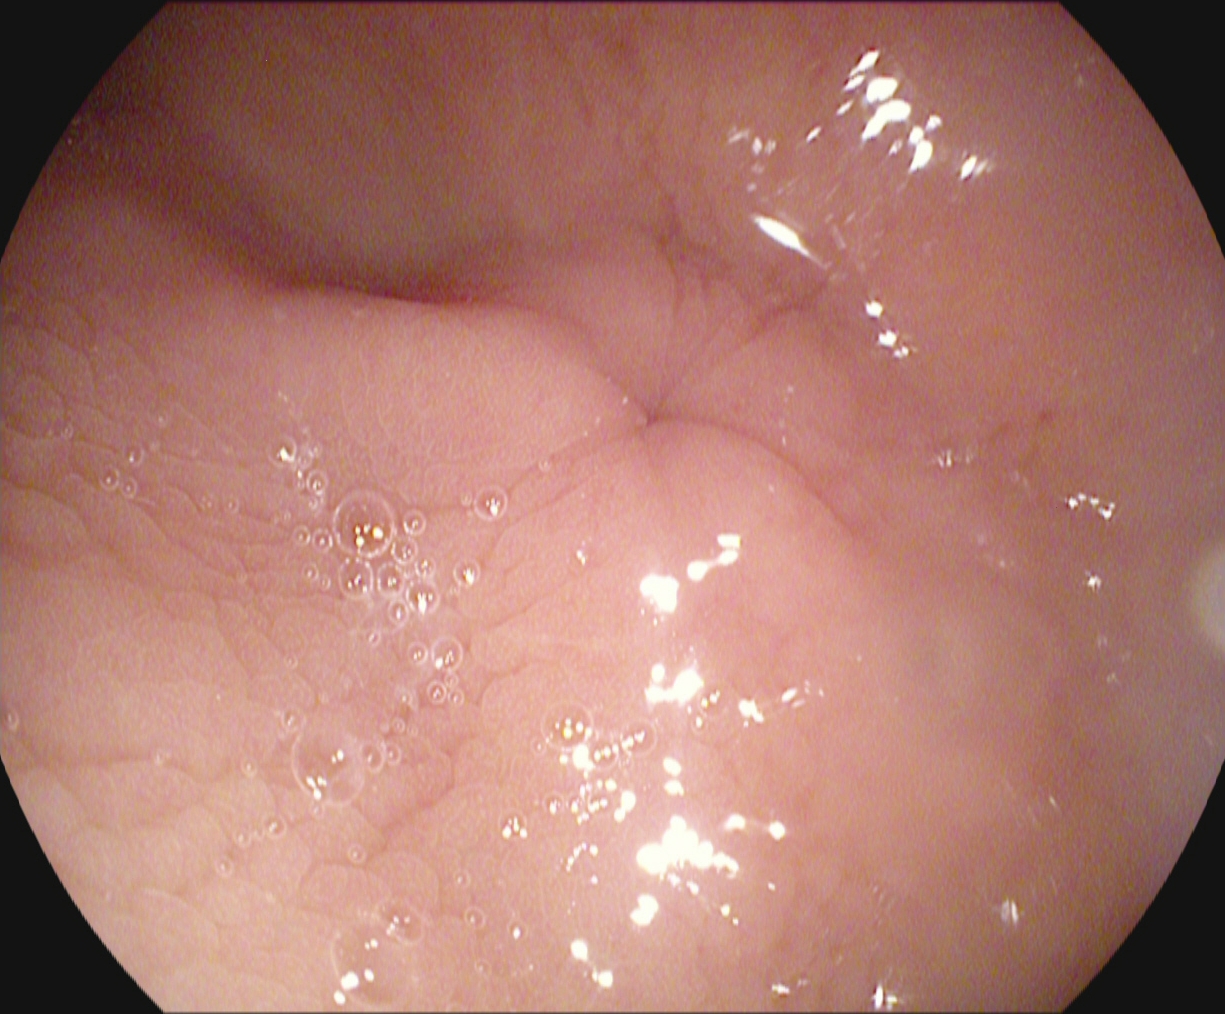PROCEDURE: Gastroscopy.
CATEGORY: Anatomical landmark.
FINDINGS: Pylorus.